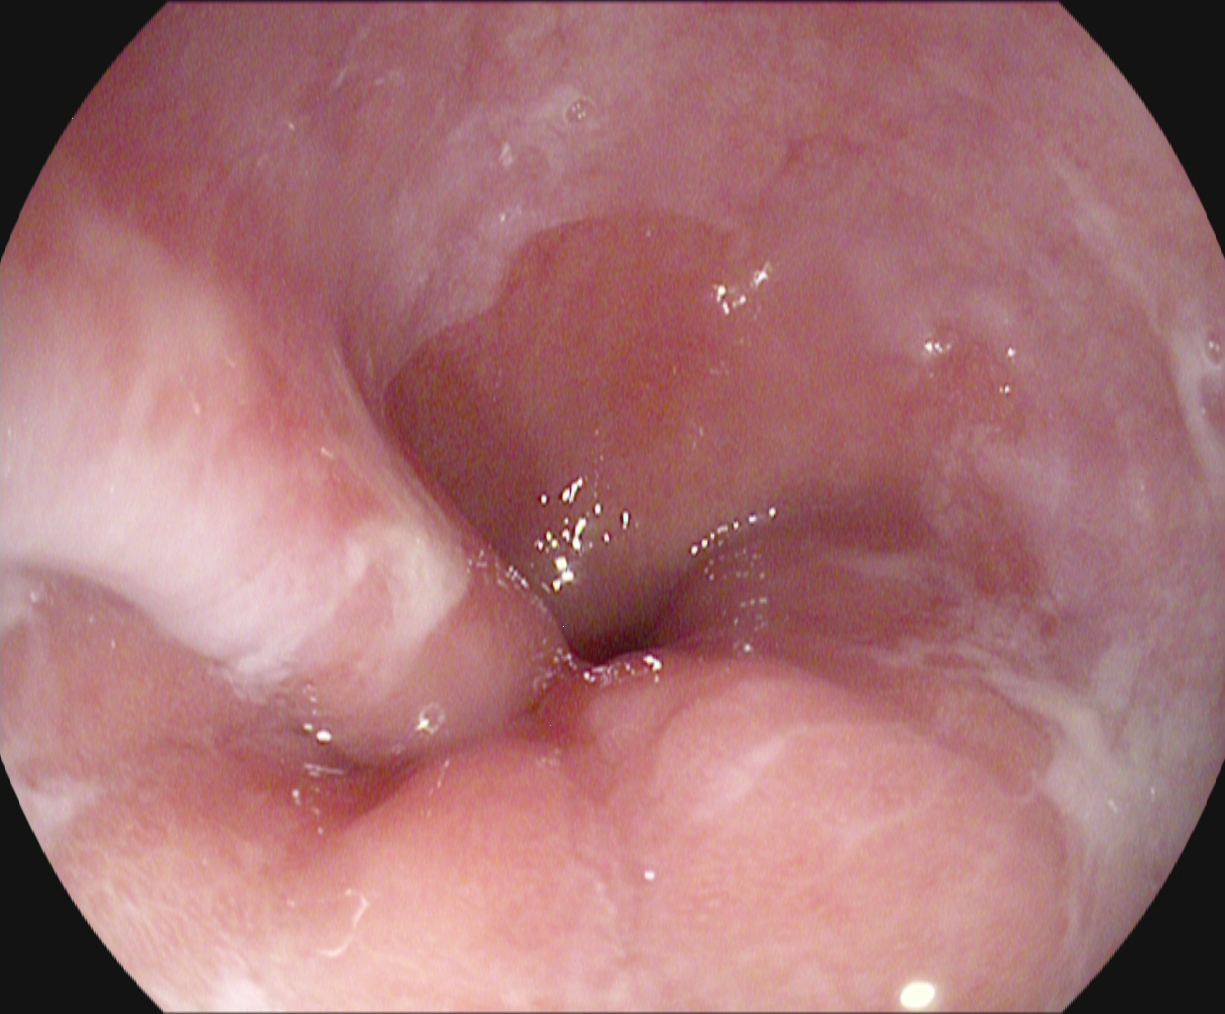modality: esophagogastroduodenoscopy; tract: upper GI tract; finding: Z-line (gastroesophageal junction)